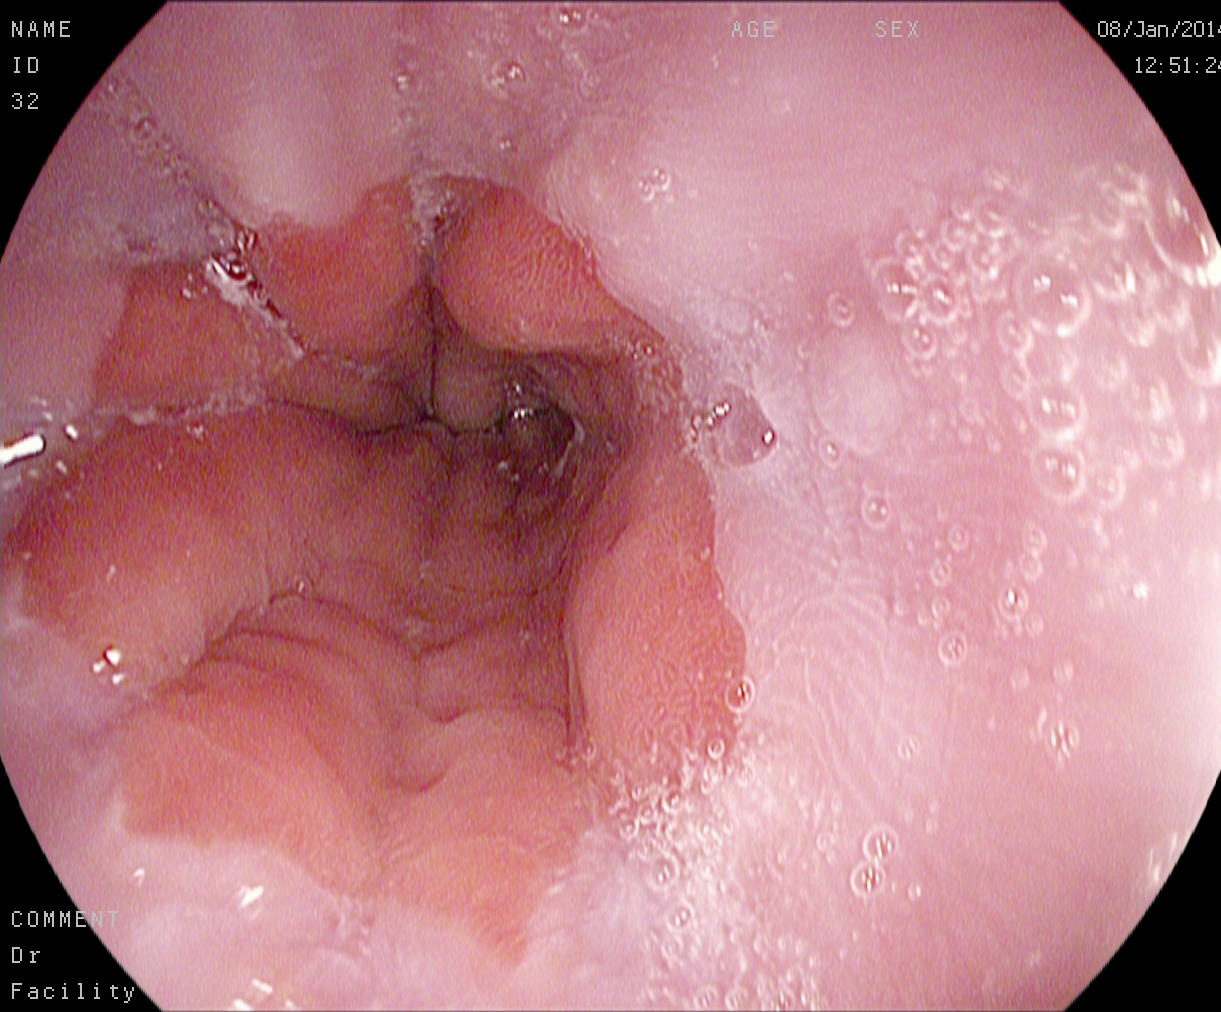This endoscopy frame shows Z-line (gastroesophageal junction).